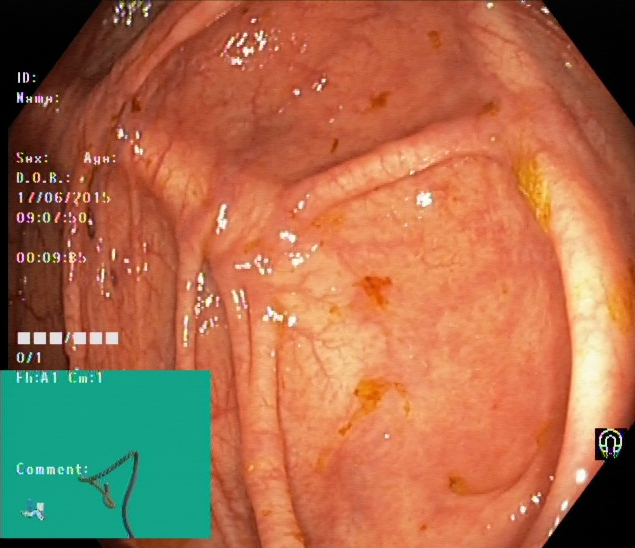{"modality": "lower-GI endoscopy", "finding": "cecum"}